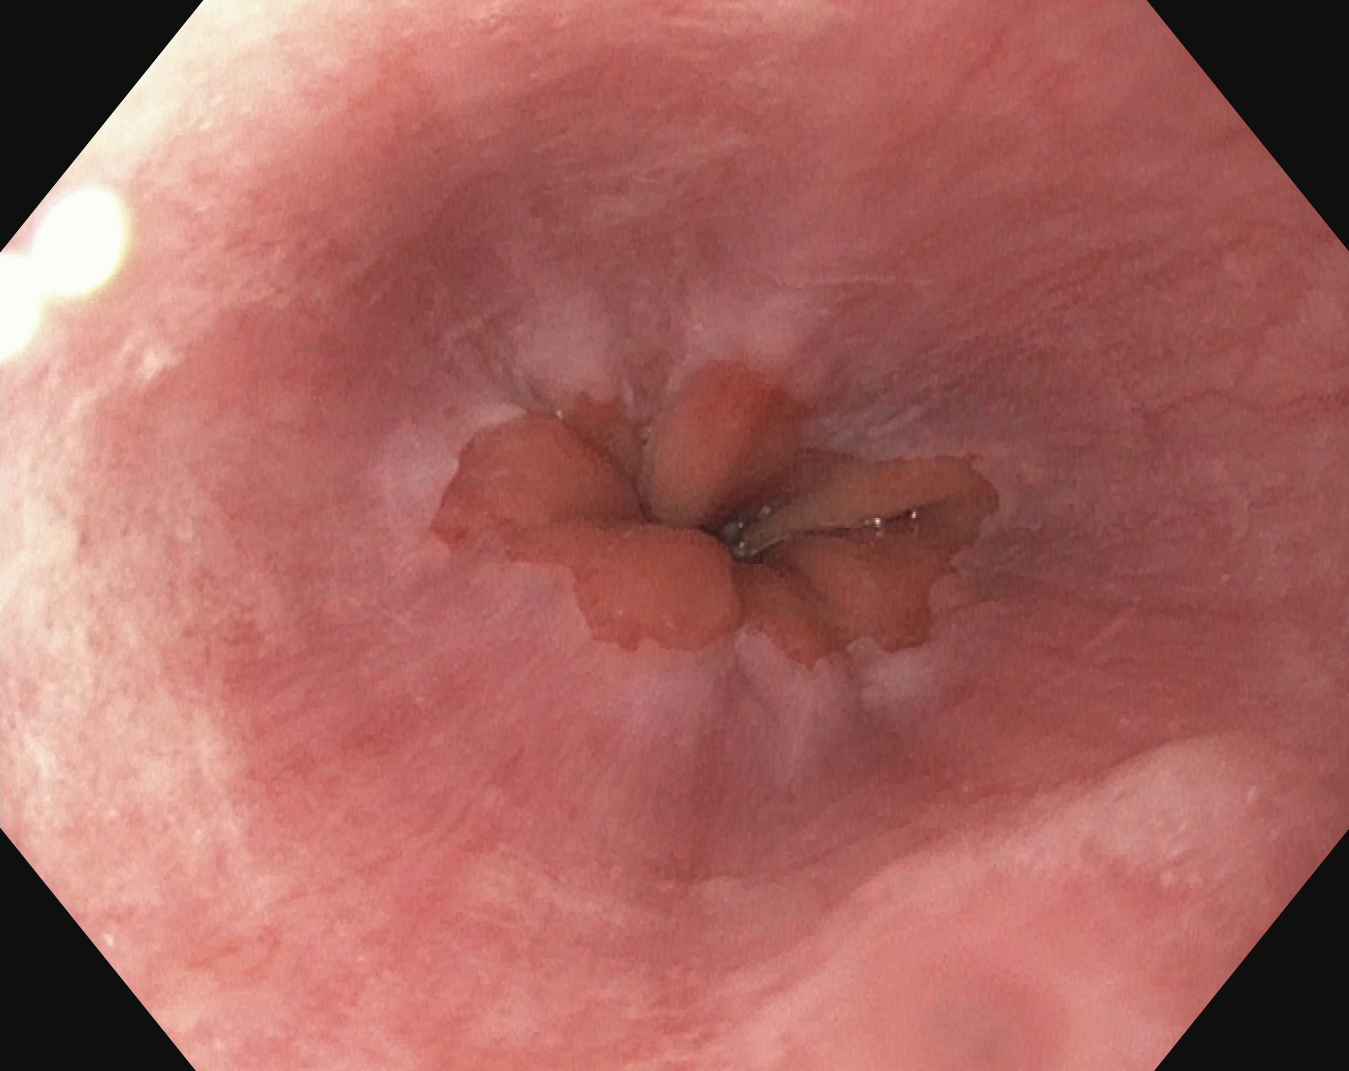This endoscopic image shows Z-line (gastroesophageal junction).